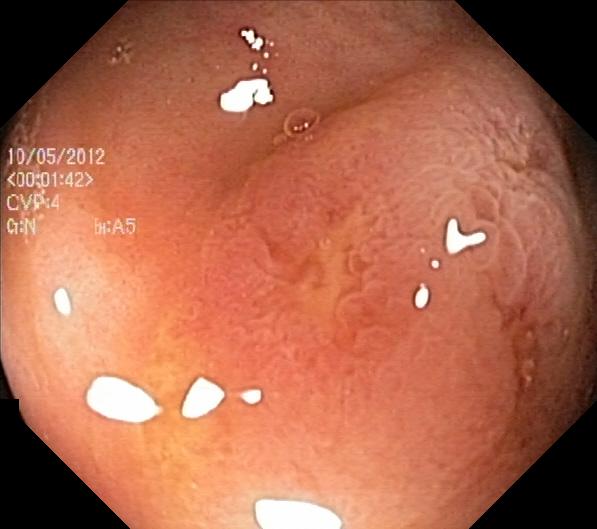Colorectal polyp(s).